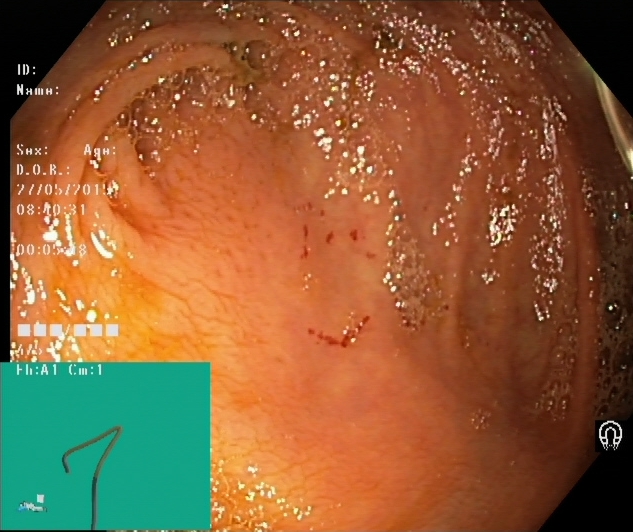Endoscopic frame of the lower GI tract showing cecum.